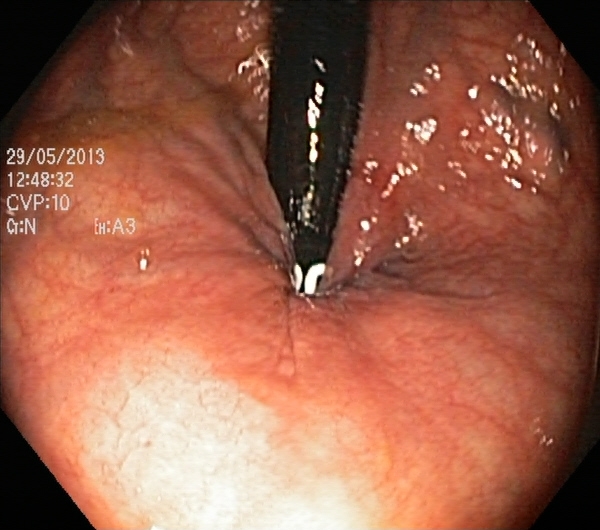Rectum in retroflexion.